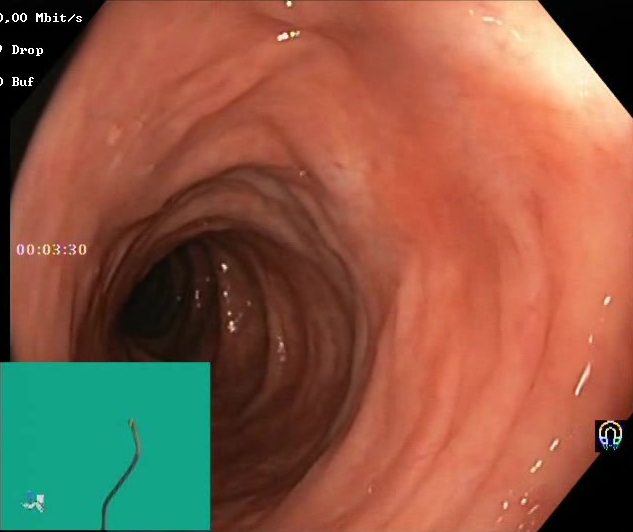{"modality": "lower gastrointestinal endoscopy", "tract": "lower GI tract", "finding": "Boston Bowel Preparation Scale score 2\u20133 (adequate preparation)"}